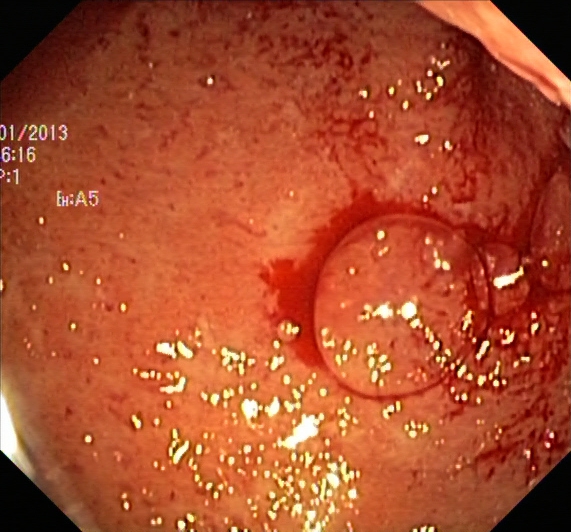PROCEDURE: Lower gastrointestinal endoscopy.
FINDINGS: UC, Mayo endoscopic subscore 2.